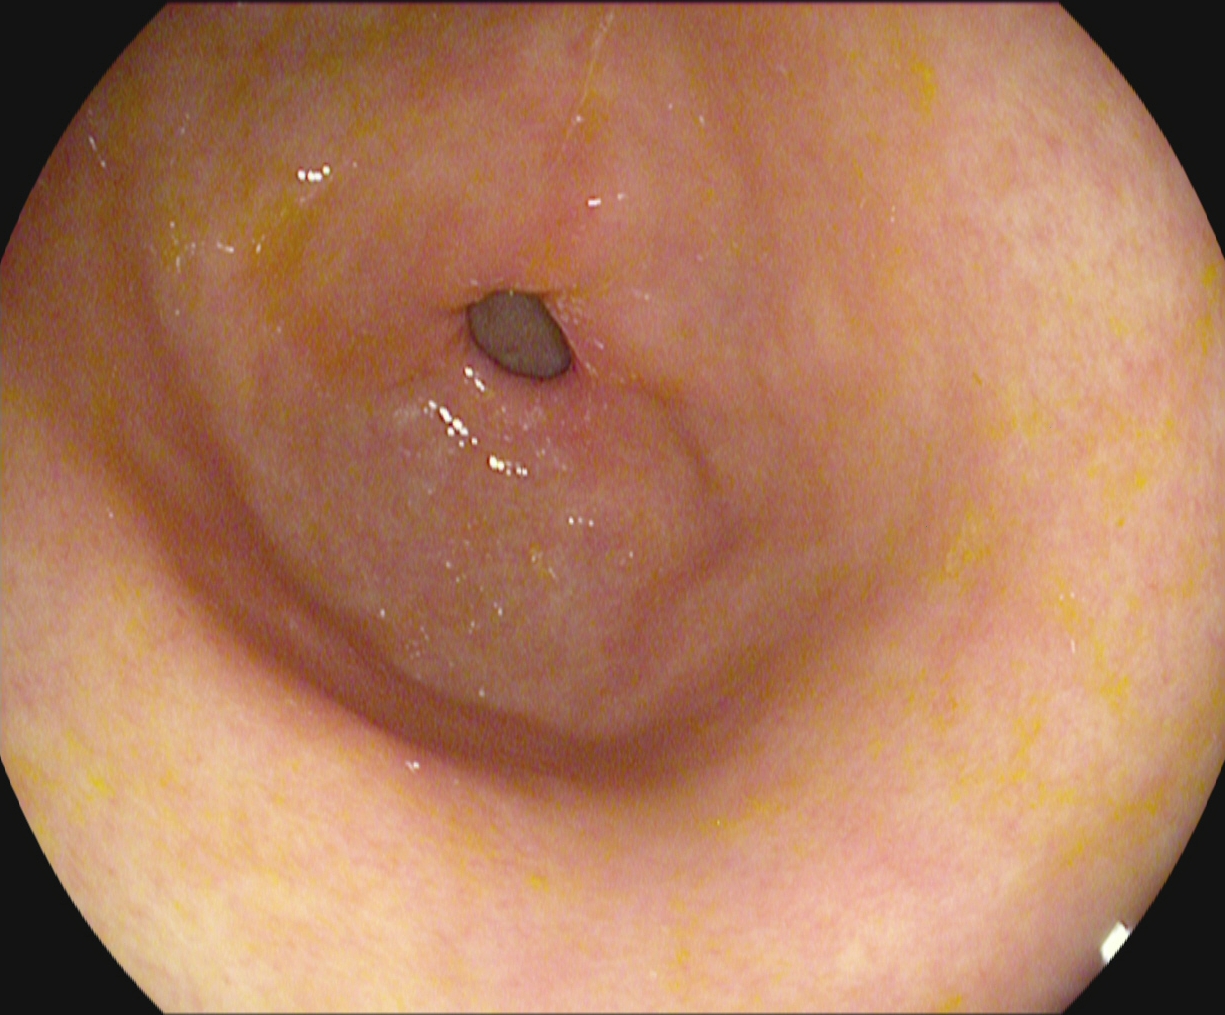PROCEDURE: Gastroscopy.
FINDINGS: Pylorus.